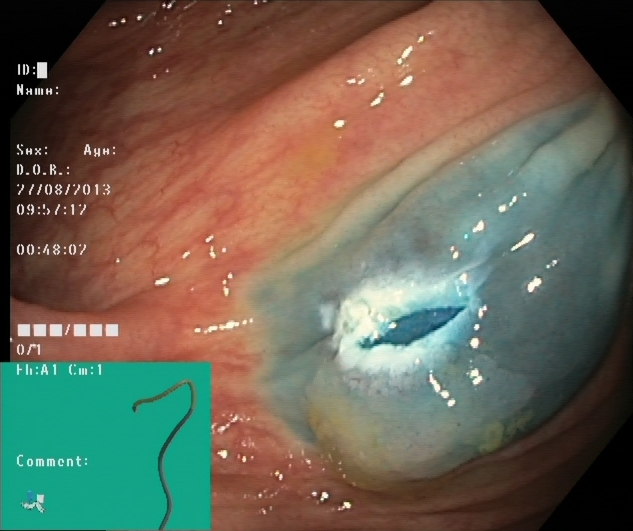Colonoscopy. Tract: lower GI tract. Finding: dyed resection margins (post-polypectomy).